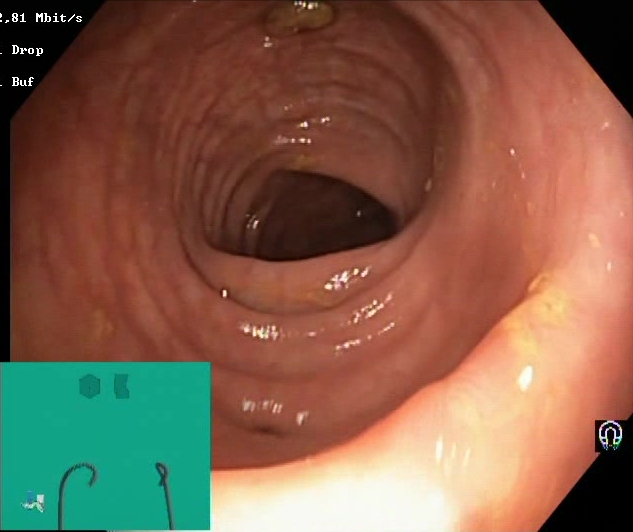{"modality": "colonoscopy", "finding": "BBPS score 2\u20133 (adequate preparation)"}